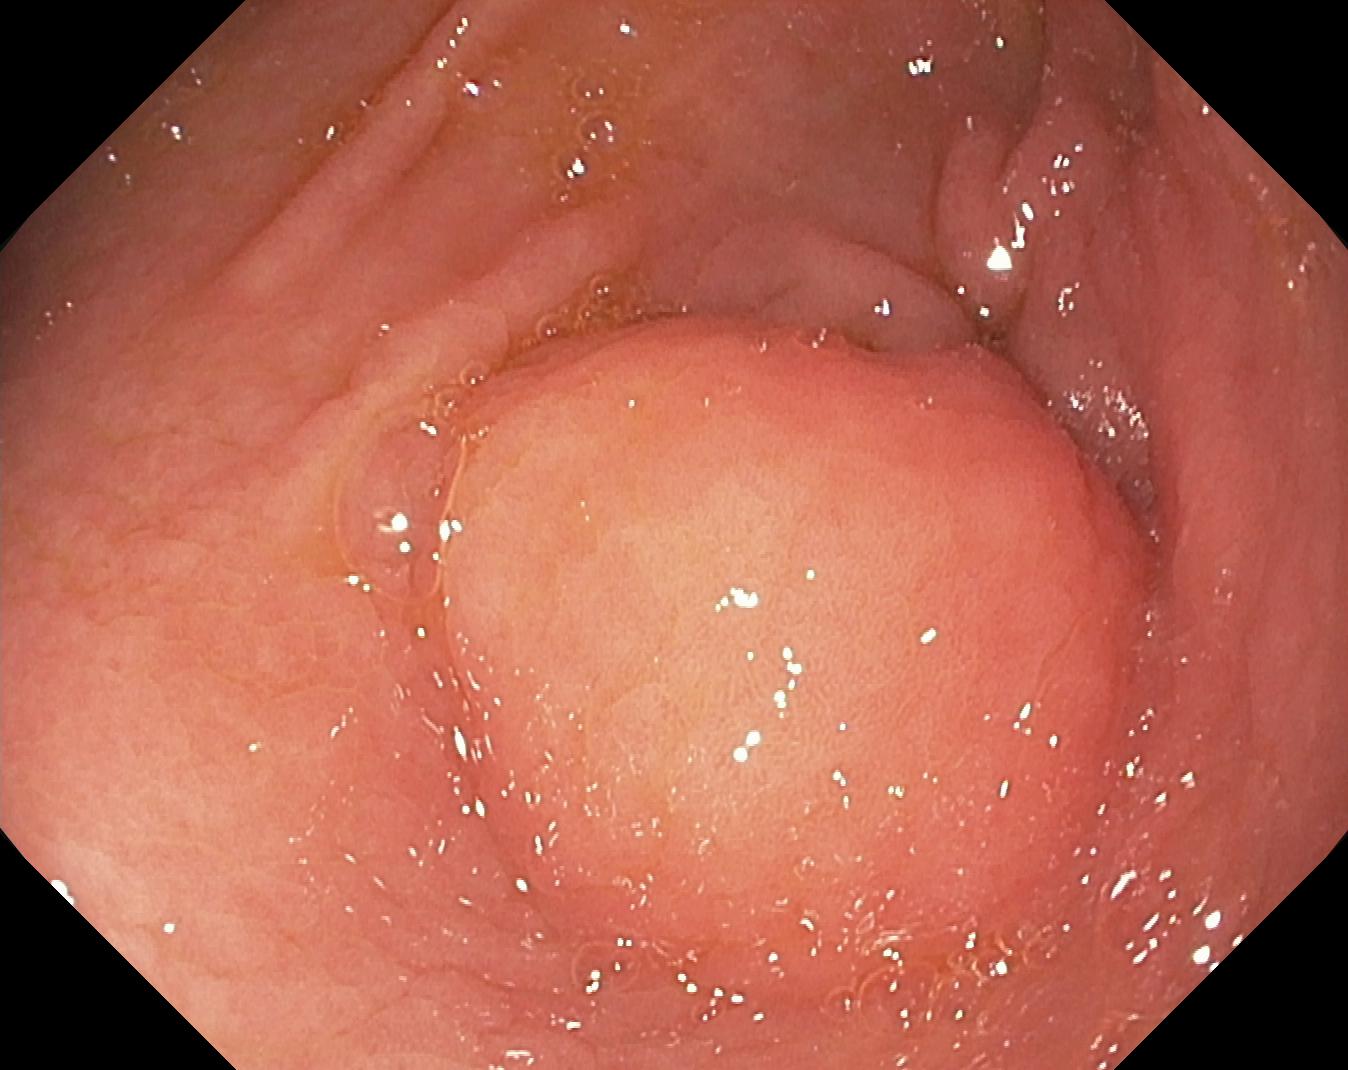Colorectal polyp(s).